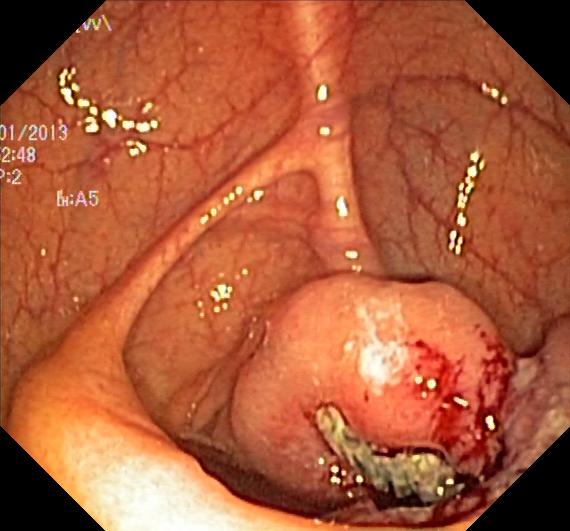Colorectal polyp(s).